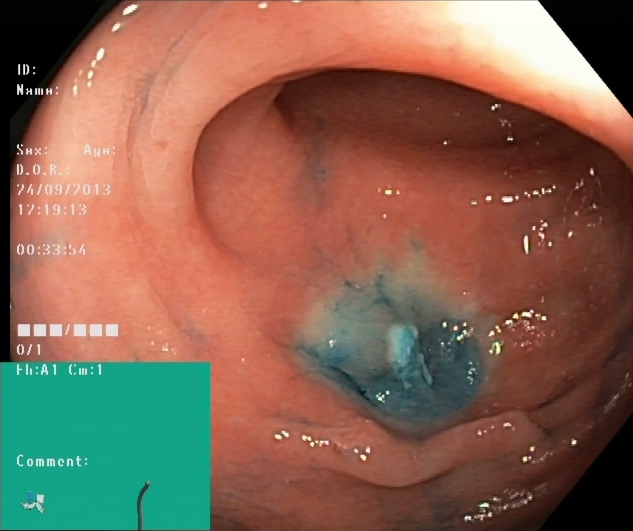PROCEDURE: Lower-GI endoscopy.
FINDINGS: Dyed resection margins (post-polypectomy).